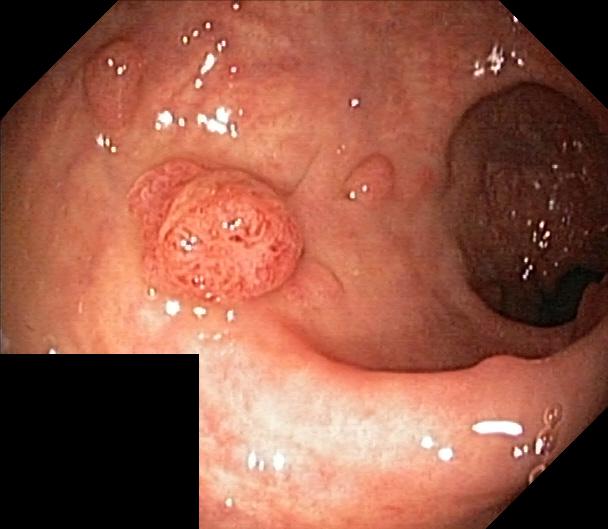Lower gastrointestinal endoscopy — colorectal polyp(s).